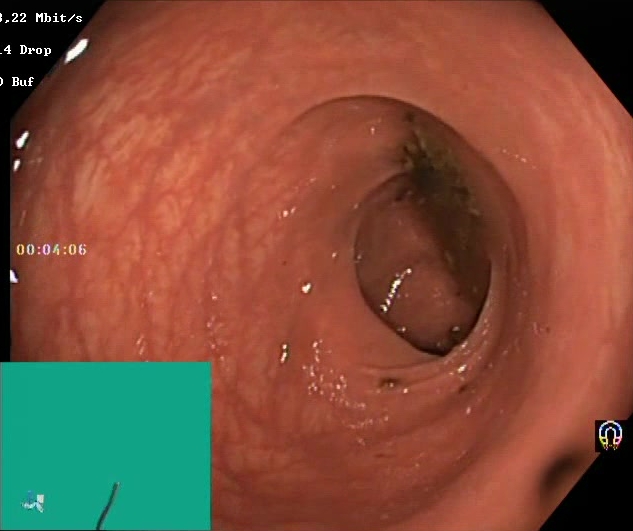BBPS score 0–1 (inadequate preparation).